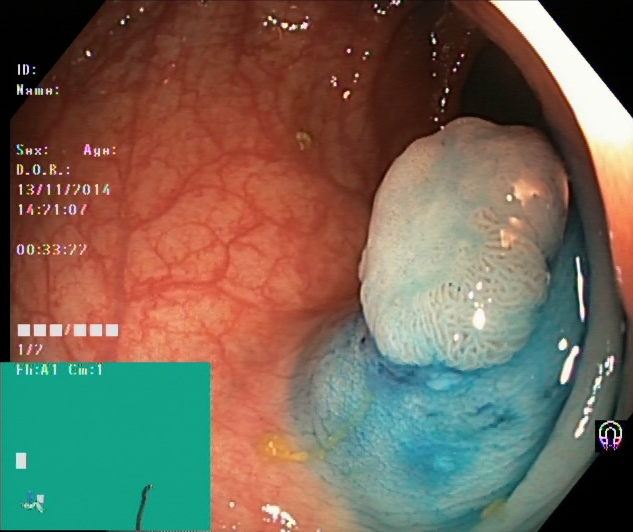modality: colonoscopy; category: therapeutic intervention; finding: dyed and lifted polyp (pre-resection)